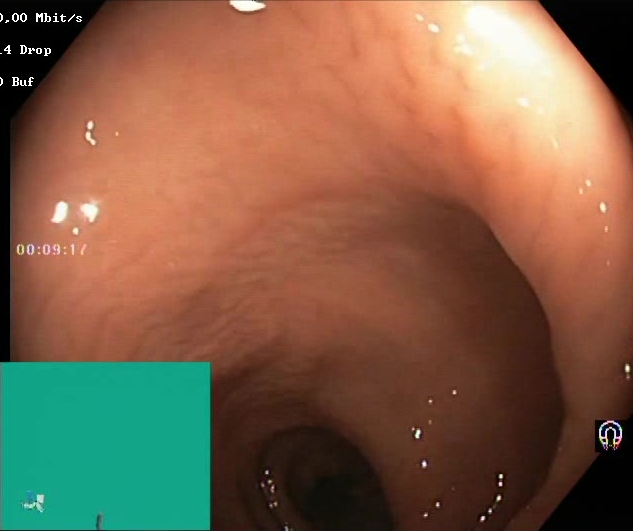This endoscopy frame of the lower GI tract shows Boston Bowel Preparation Scale score 2–3 (adequate preparation).